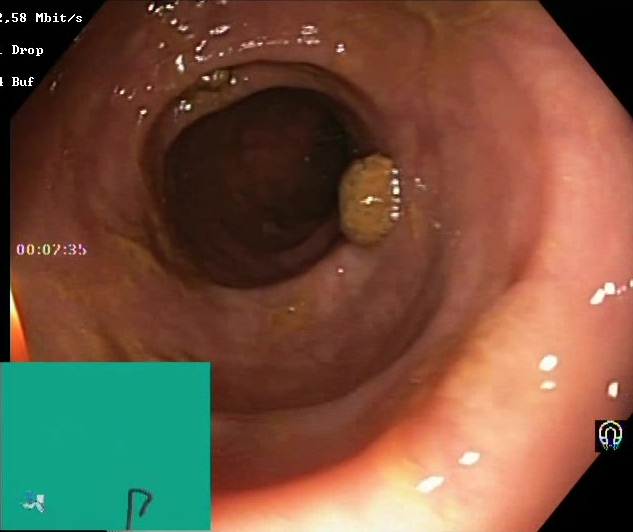Lower gastrointestinal endoscopy — Boston Bowel Preparation Scale score 2–3 (adequate preparation).